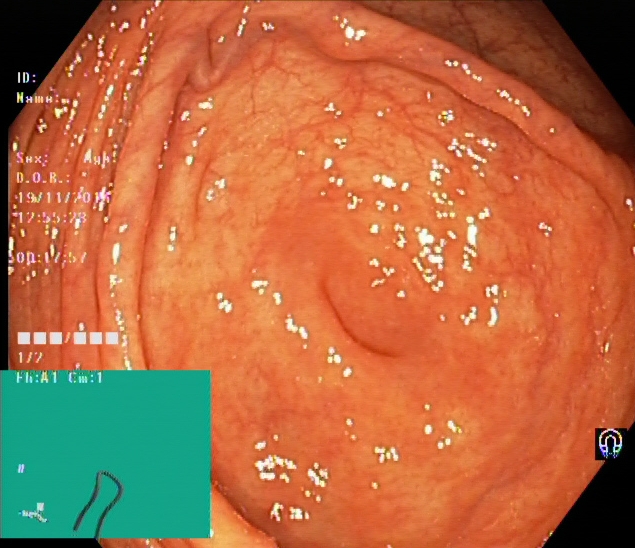This endoscopy frame of the lower GI tract shows cecum.